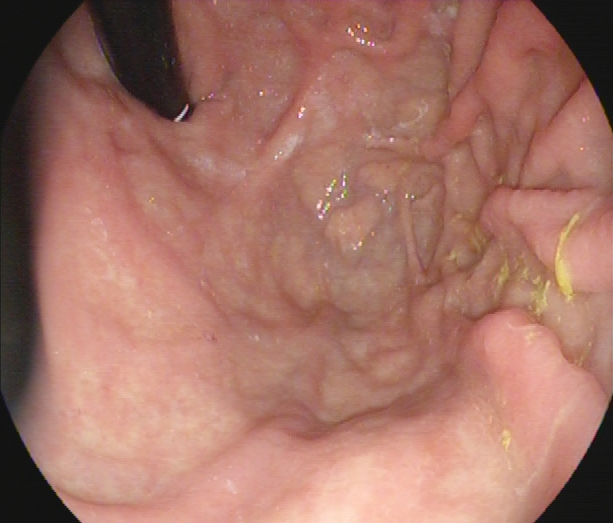Endoscopic image of the upper GI tract showing stomach in retroflexion.